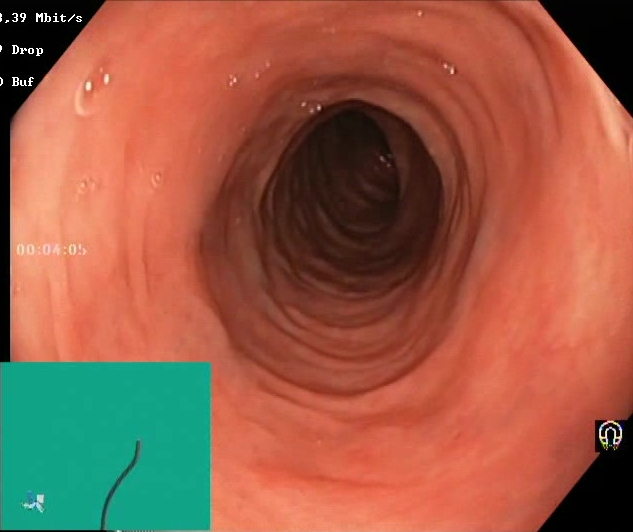GI endoscopy image showing Boston Bowel Preparation Scale score 2–3 (adequate preparation).